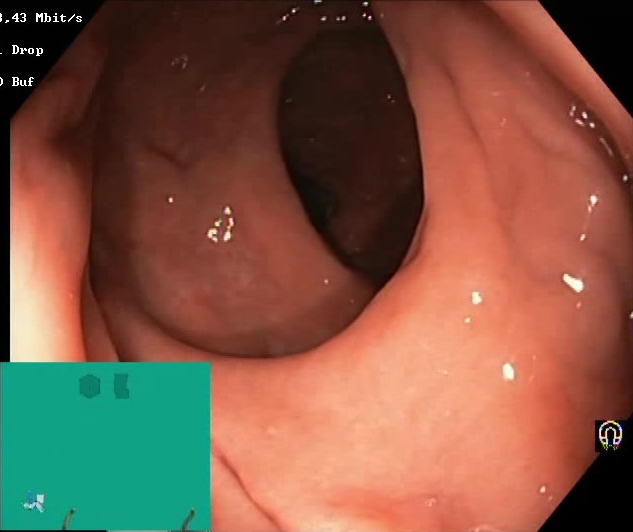This endoscopy frame of the lower GI tract shows BBPS score 2–3 (adequate preparation).